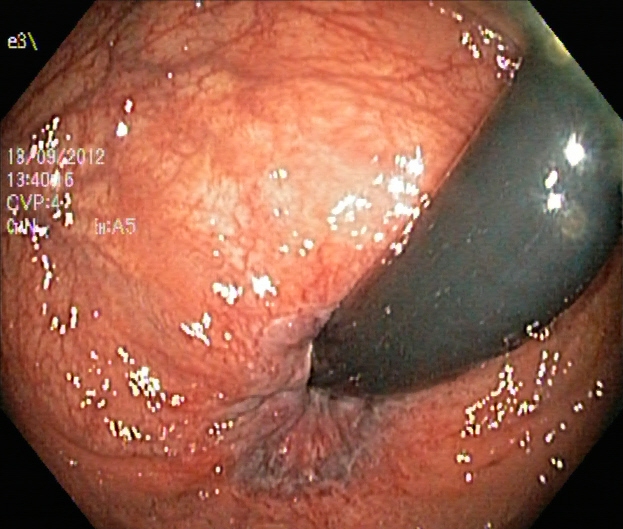Lower-GI endoscopy. Tract: lower GI tract. Anatomical landmark. Finding: rectum in retroflexion.